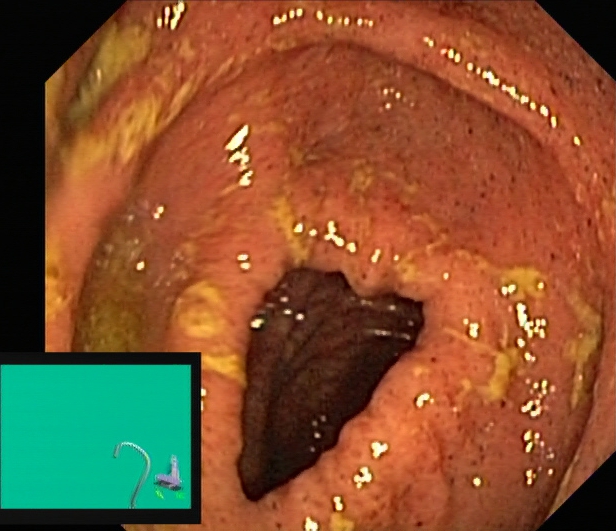{"modality": "lower-GI endoscopy", "tract": "lower GI tract", "finding": "UC, Mayo endoscopic subscore 2"}